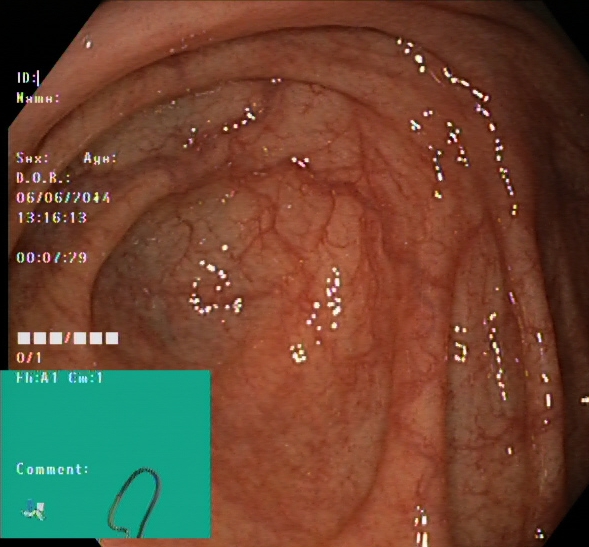PROCEDURE: Lower-GI endoscopy.
FINDINGS: Cecum.